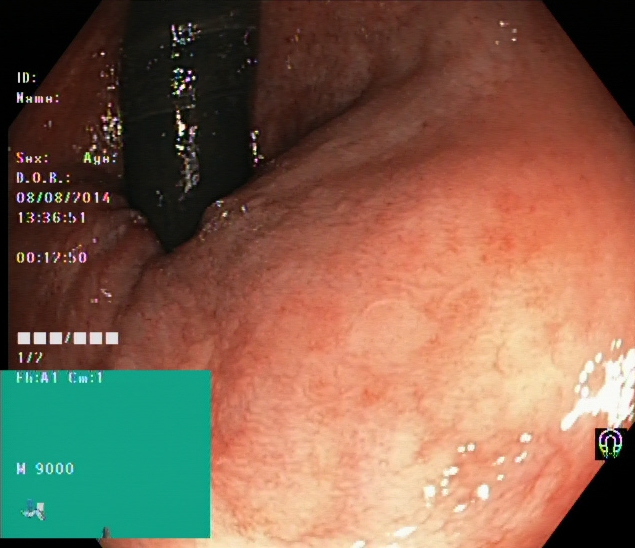Lower gastrointestinal endoscopy image of the lower GI tract showing rectum in retroflexion.